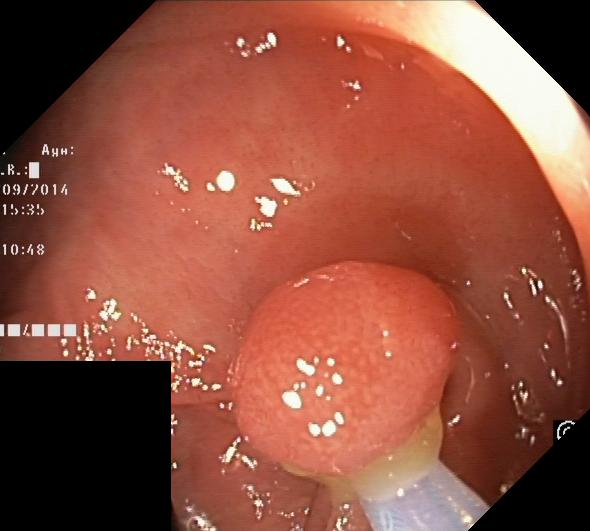Lower gastrointestinal endoscopy image of the lower GI tract showing colorectal polyp(s).